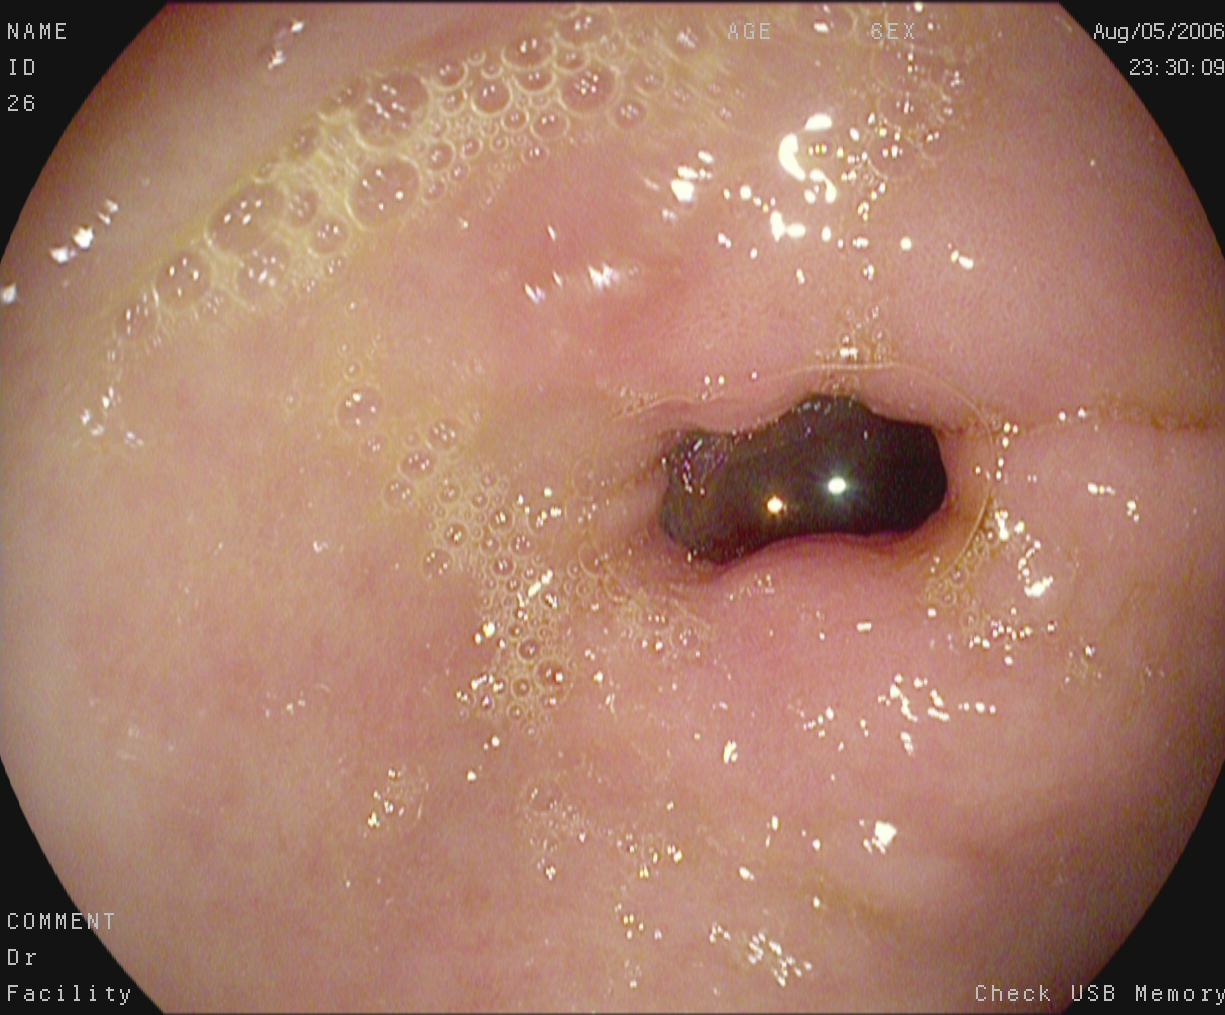Pylorus.